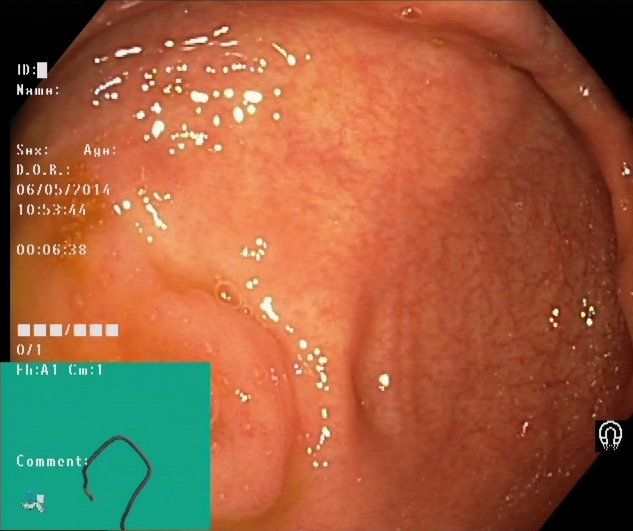{"modality": "colonoscopy", "tract": "lower GI tract", "category": "anatomical landmark", "finding": "cecum"}